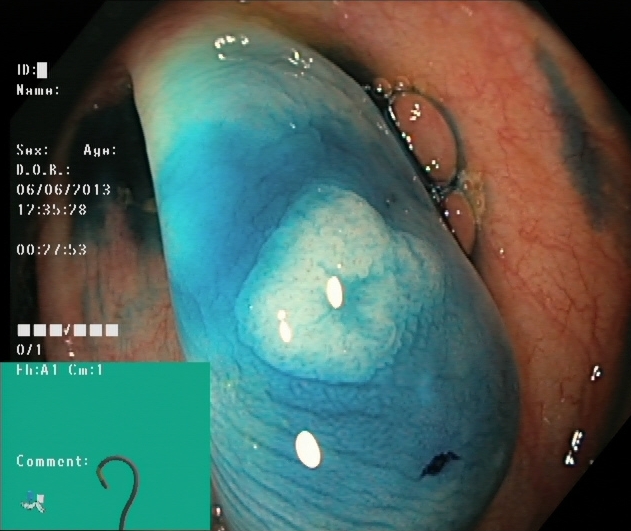Colonoscopy. Tract: lower GI tract. Therapeutic intervention. Finding: dyed and lifted polyp (pre-resection).